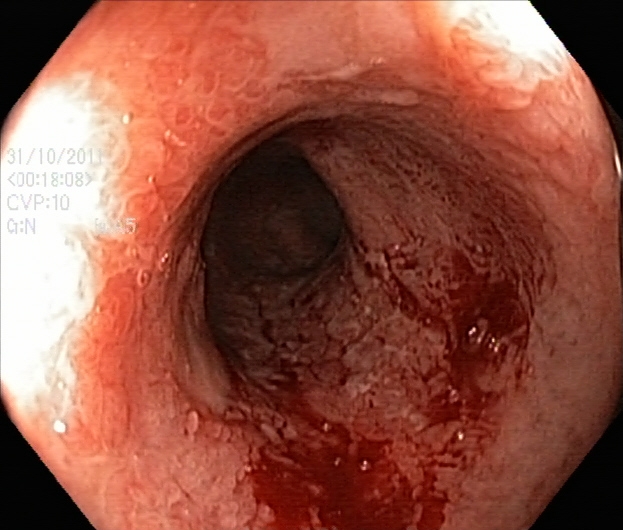{"modality": "colonoscopy", "category": "pathological finding", "finding": "ulcerative colitis, Mayo endoscopic subscore 3"}